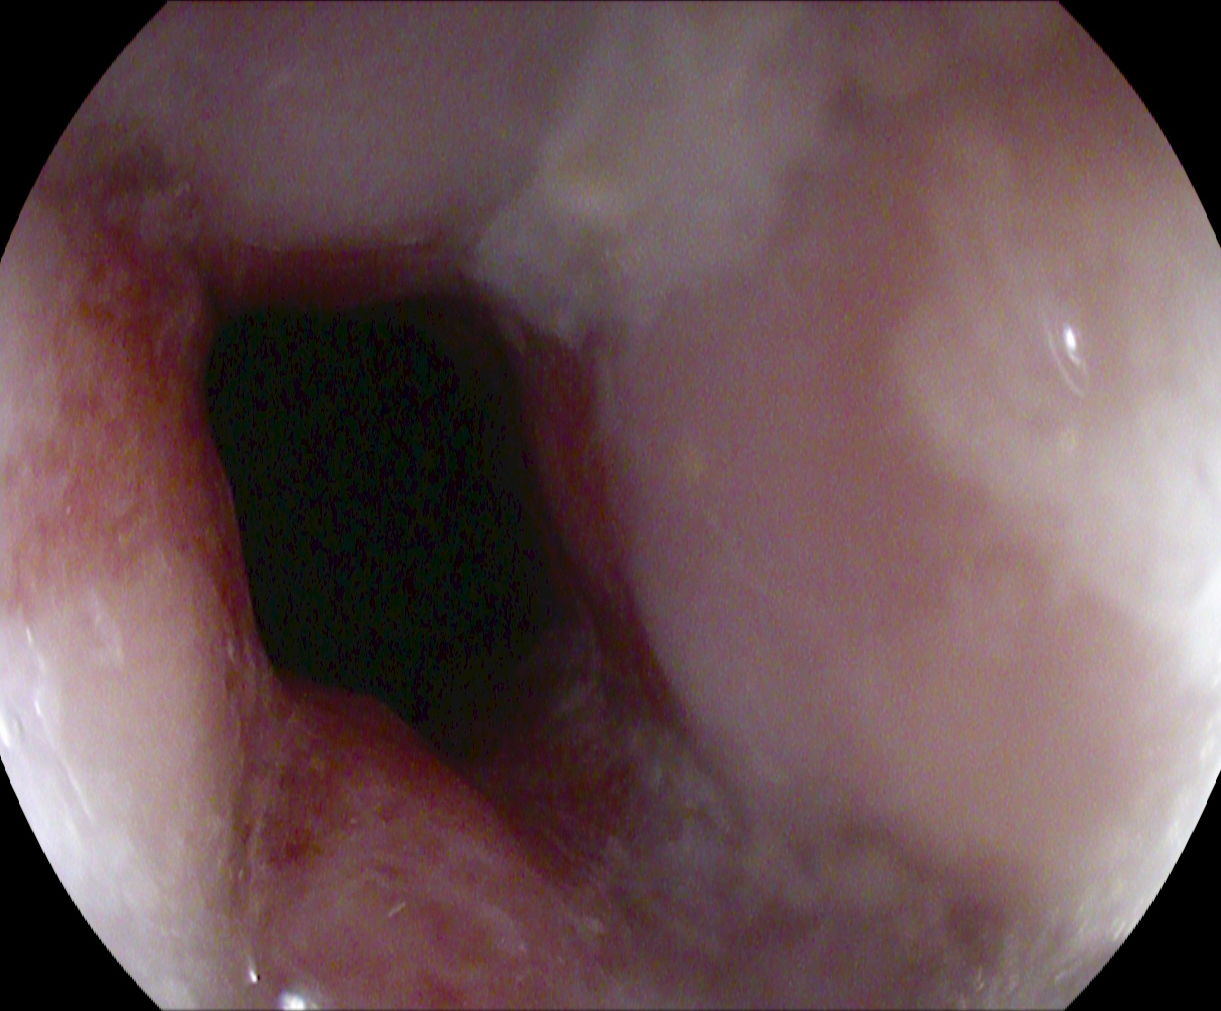PROCEDURE: Esophagogastroduodenoscopy.
FINDINGS: Reflux esophagitis, Los Angeles grade A.